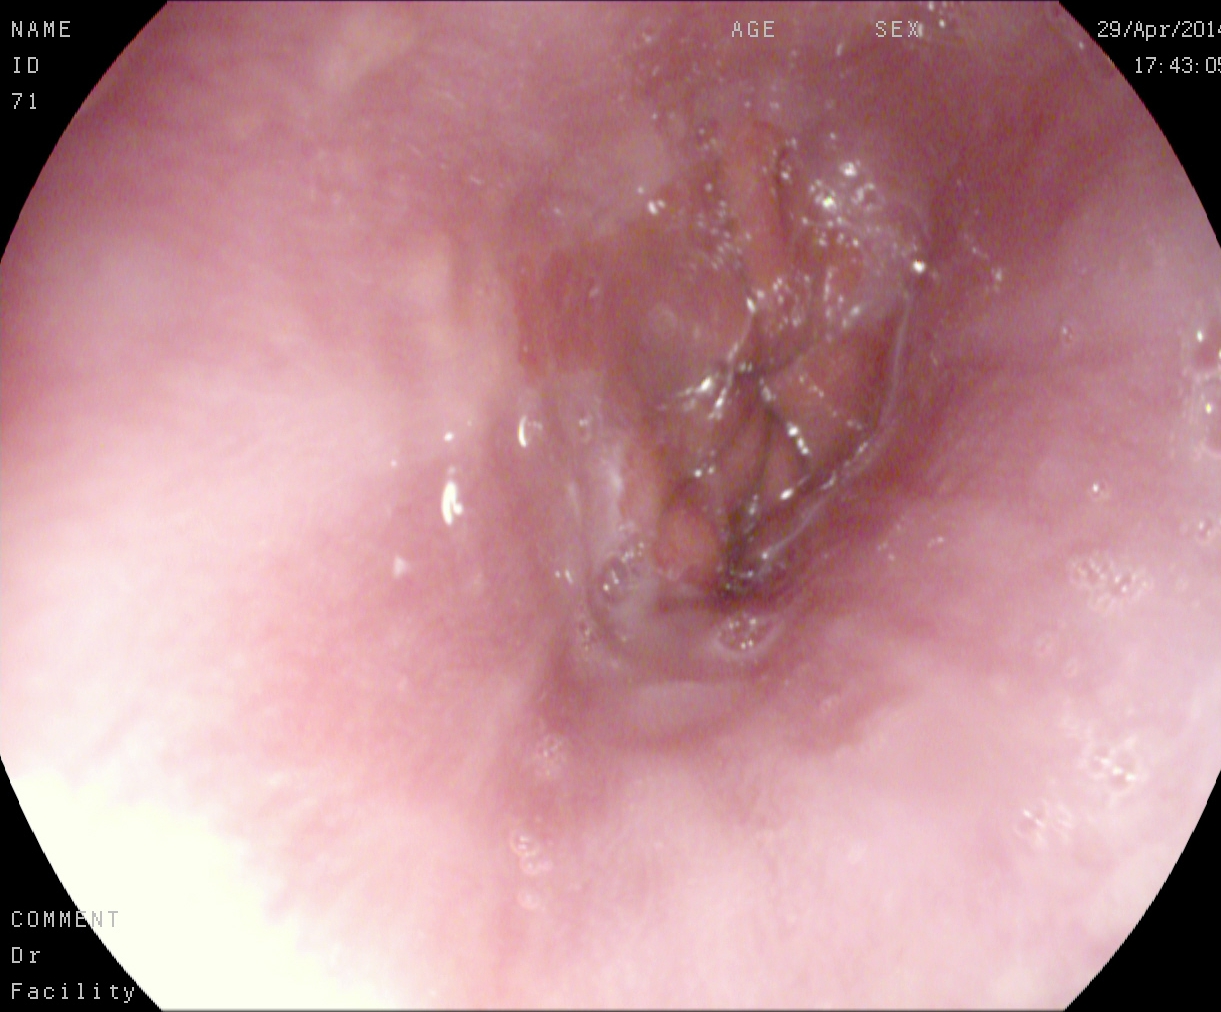PROCEDURE: EGD.
FINDINGS: Z-line (gastroesophageal junction).